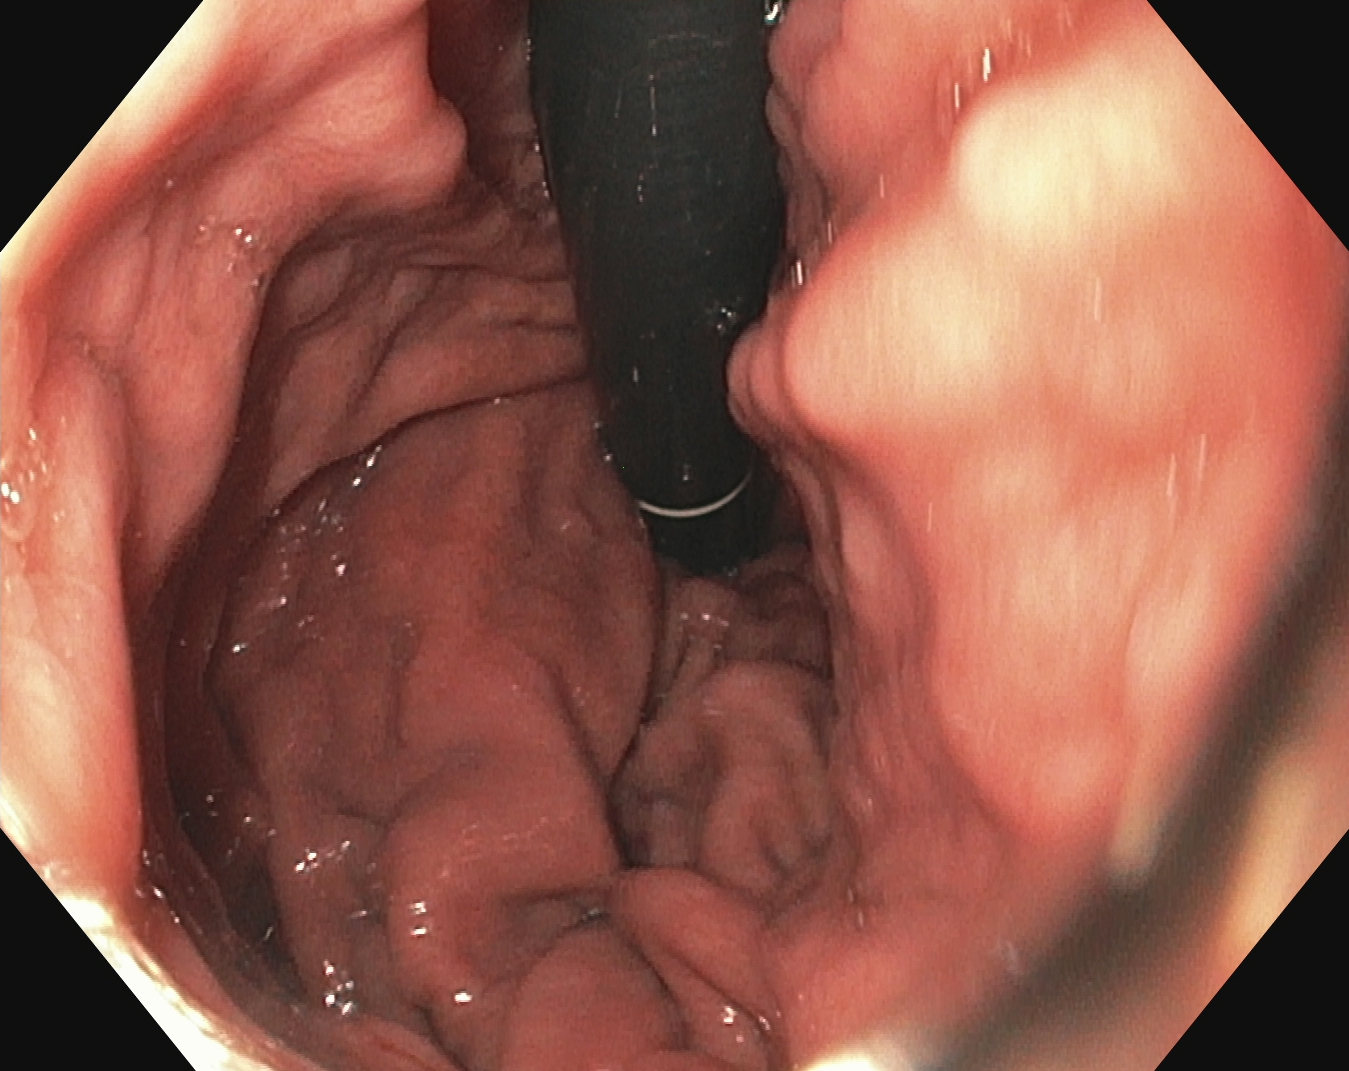PROCEDURE: Gastroscopy.
CATEGORY: Anatomical landmark.
FINDINGS: Stomach in retroflexion.